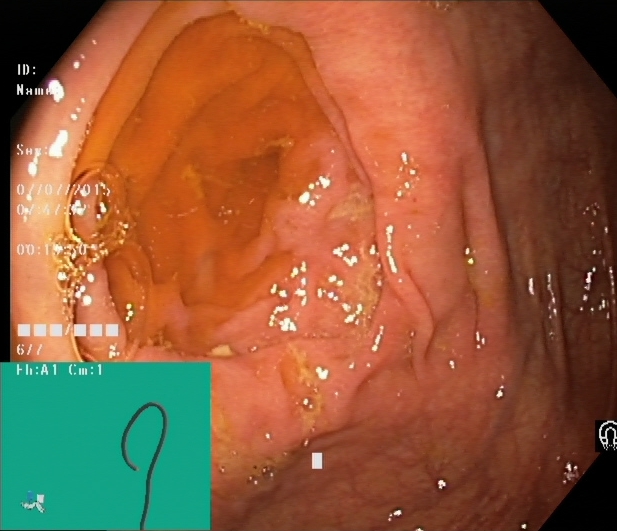Lower-GI endoscopy — cecum.